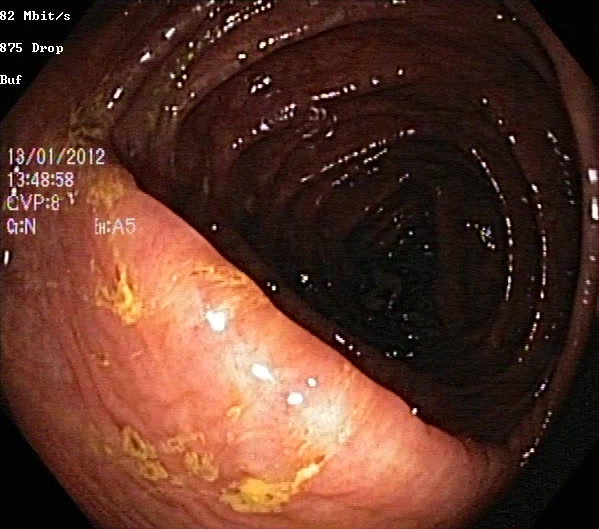{"modality": "lower gastrointestinal endoscopy", "tract": "lower GI tract", "category": "pathological finding", "finding": "ulcerative colitis, Mayo endoscopic subscore 1"}